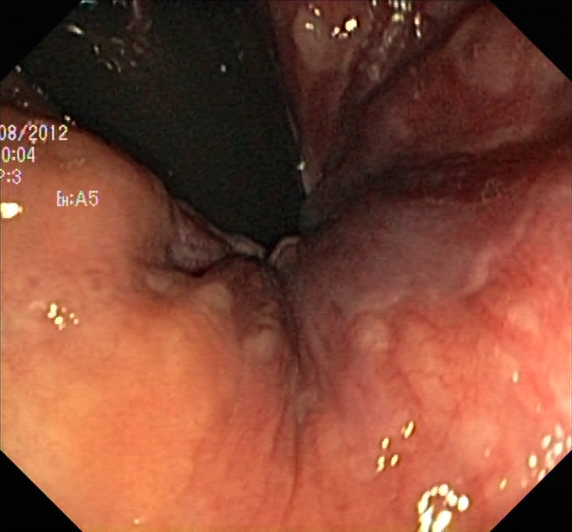Lower-GI endoscopy. Finding: rectum in retroflexion.